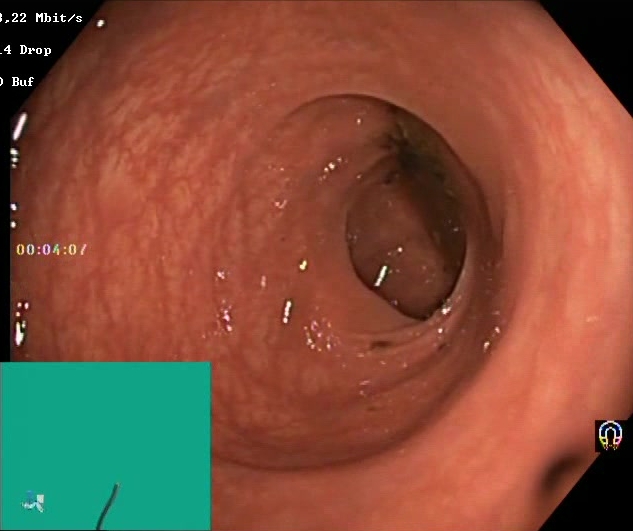{"modality": "colonoscopy", "tract": "lower GI tract", "category": "mucosal-view quality", "finding": "Boston Bowel Preparation Scale score 0\u20131 (inadequate preparation)"}